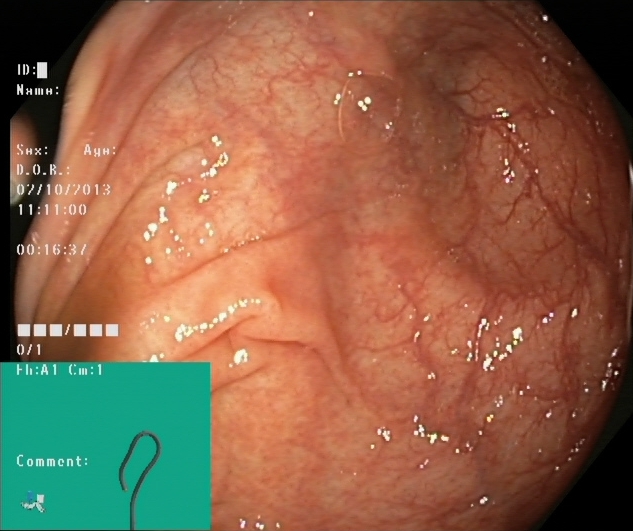{"modality": "lower-GI endoscopy", "finding": "cecum"}